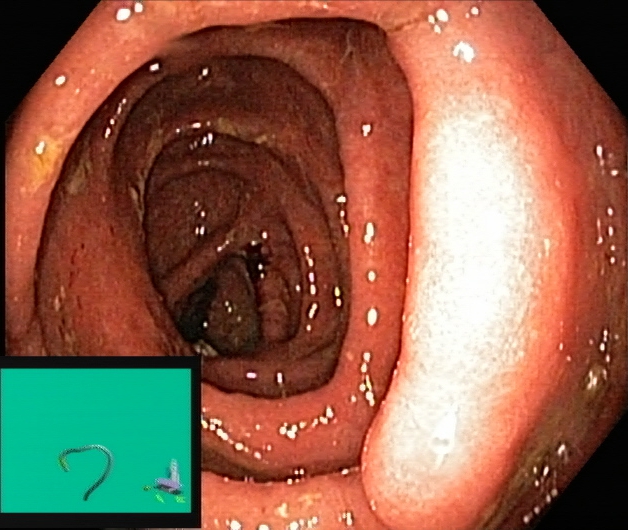{"modality": "lower-GI endoscopy", "tract": "lower GI tract", "finding": "UC, Mayo endoscopic subscore 2"}